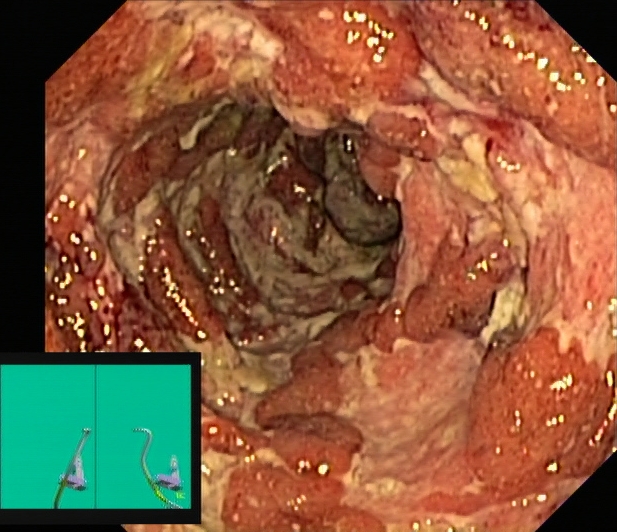{"modality": "lower-GI endoscopy", "tract": "lower GI tract", "category": "pathological finding", "finding": "UC, Mayo endoscopic subscore 3"}